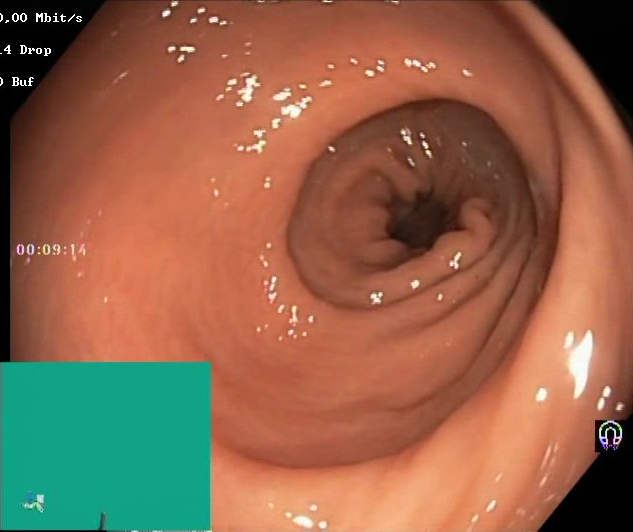Lower-GI endoscopy. Finding: Boston Bowel Preparation Scale score 2–3 (adequate preparation).